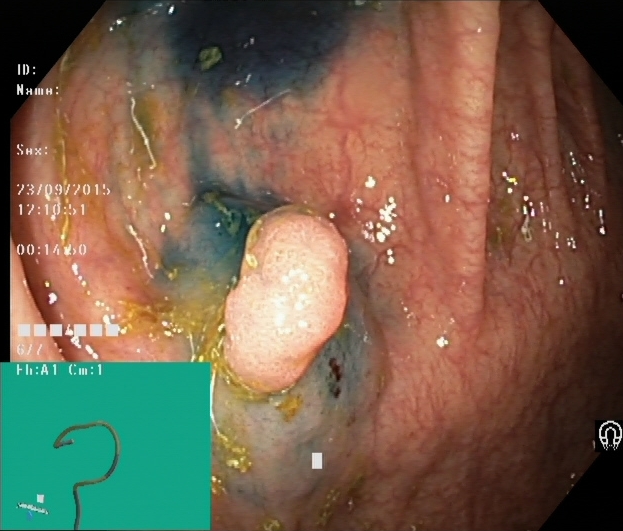{"modality": "lower-GI endoscopy", "category": "therapeutic intervention", "finding": "dyed and lifted polyp (pre-resection)"}